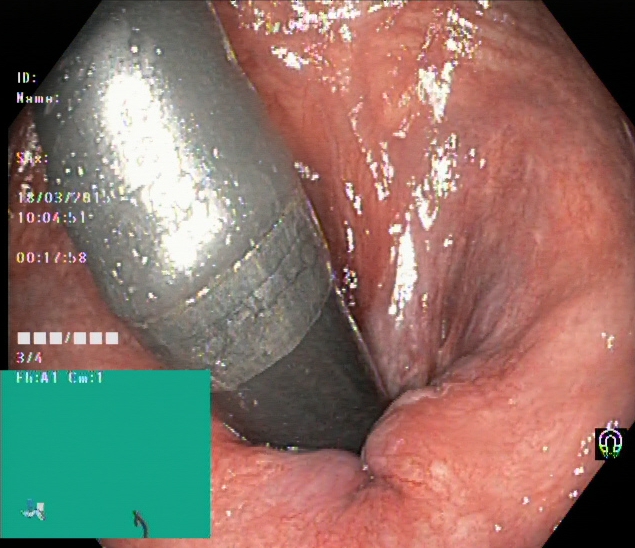Rectum in retroflexion.